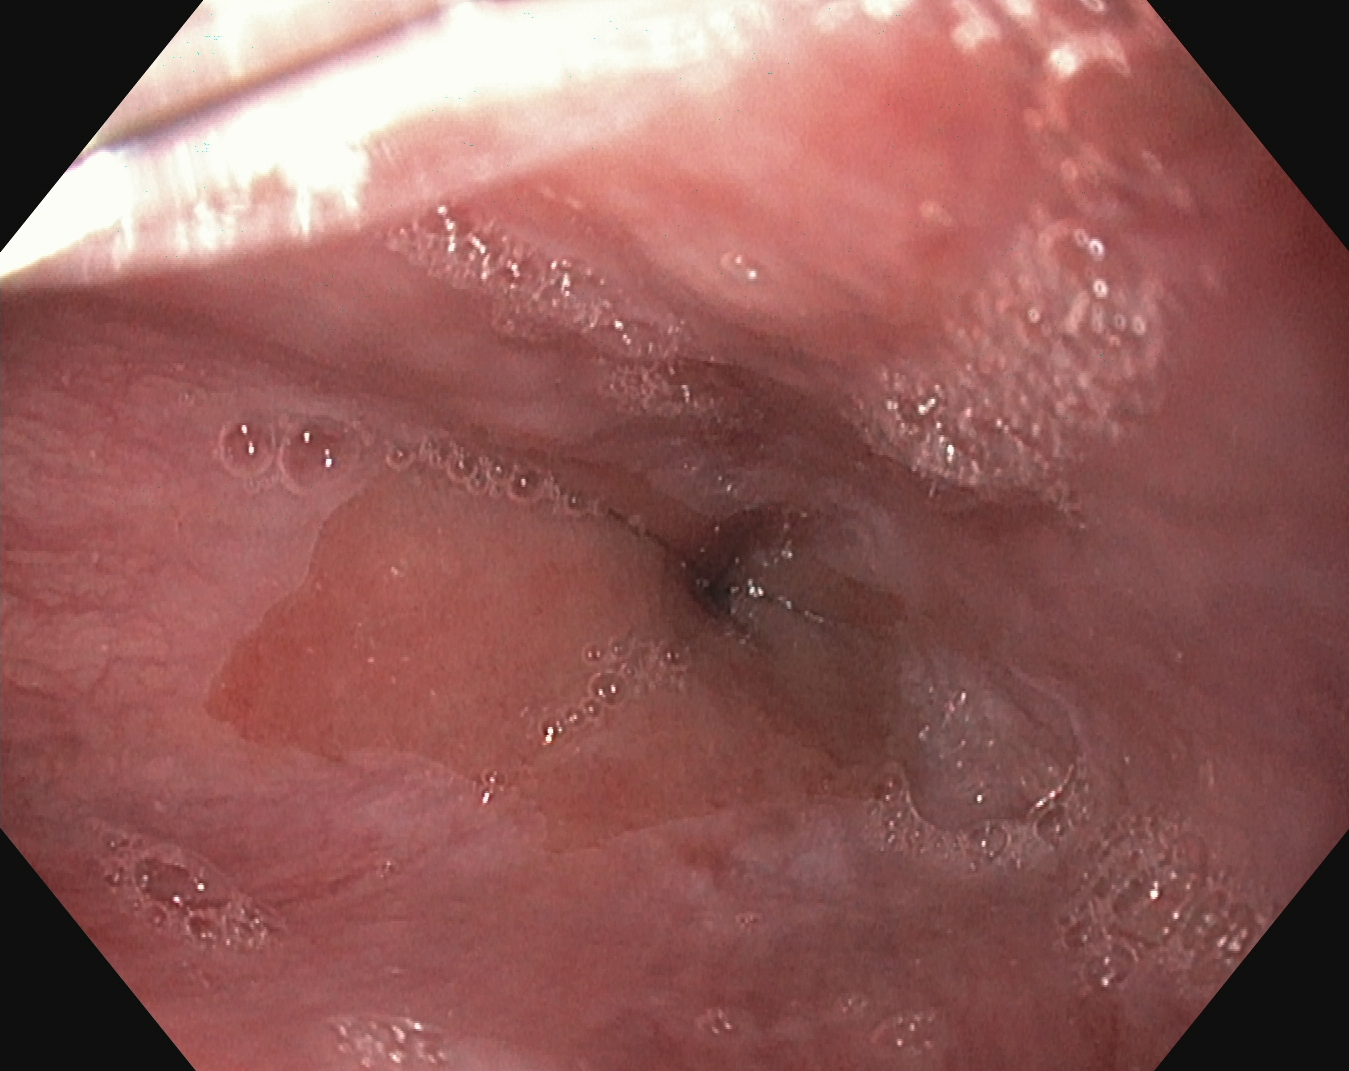{"modality": "esophagogastroduodenoscopy", "tract": "upper GI tract", "category": "anatomical landmark", "finding": "Z-line (gastroesophageal junction)"}